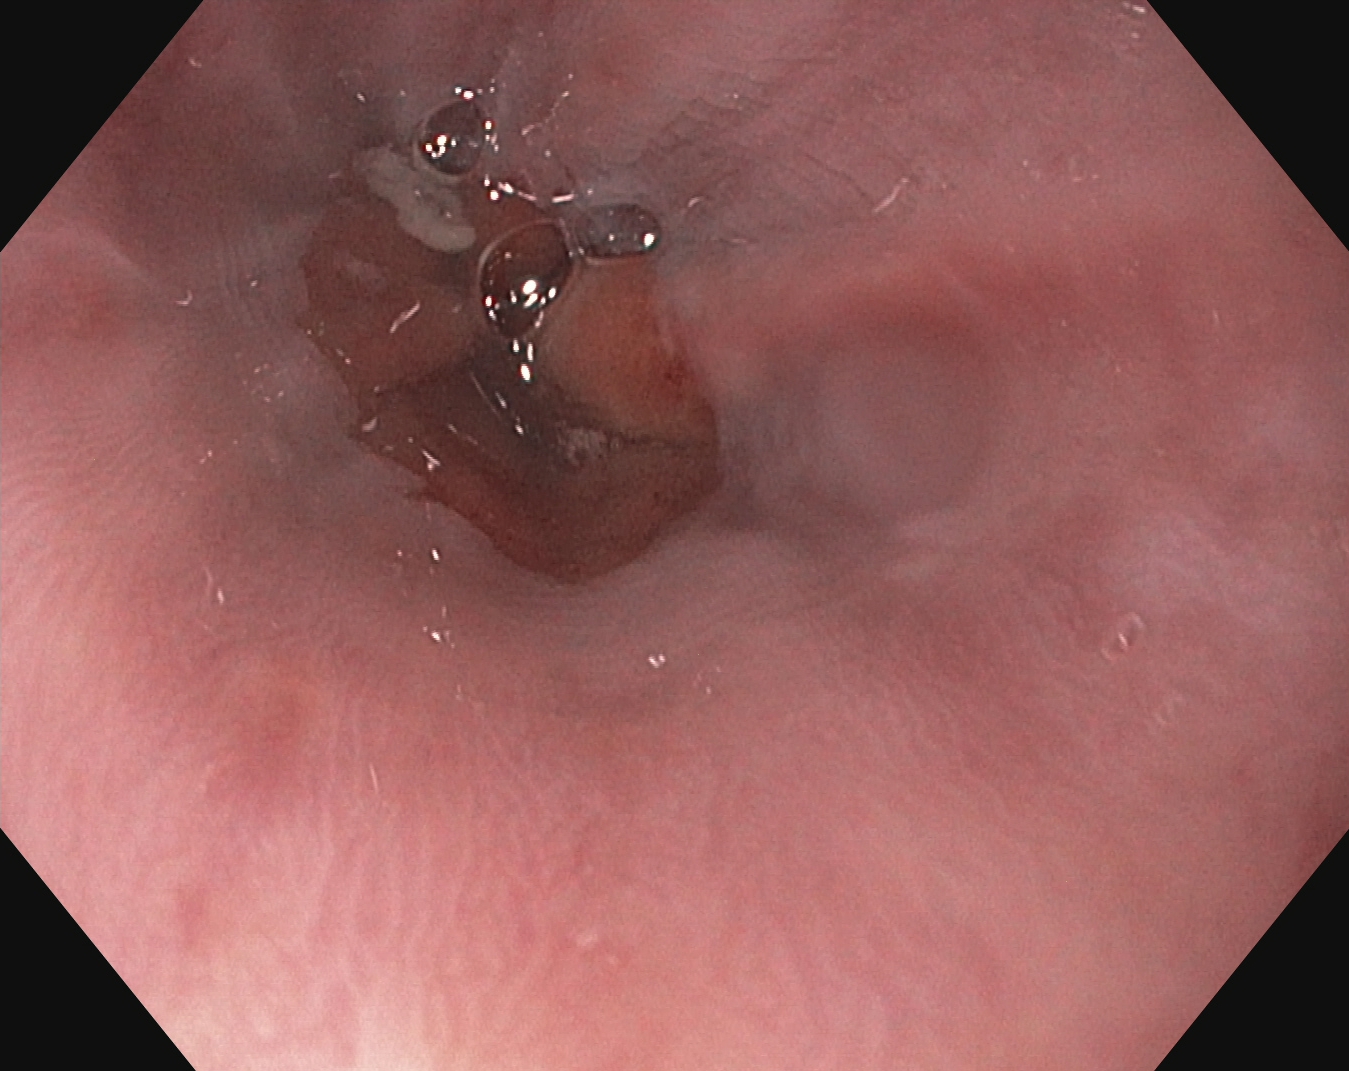Z-line (gastroesophageal junction).